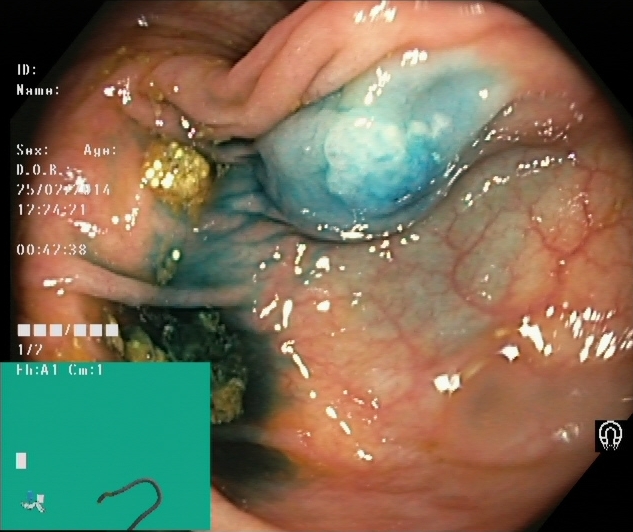modality: lower-GI endoscopy; tract: lower GI tract; finding: dyed and lifted polyp (pre-resection)